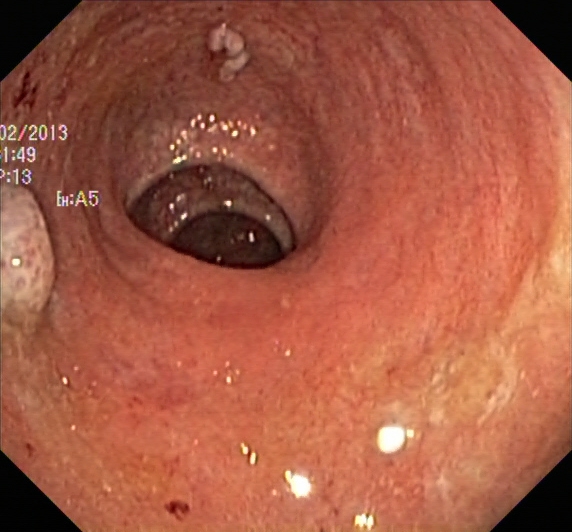colorectal polyp(s).